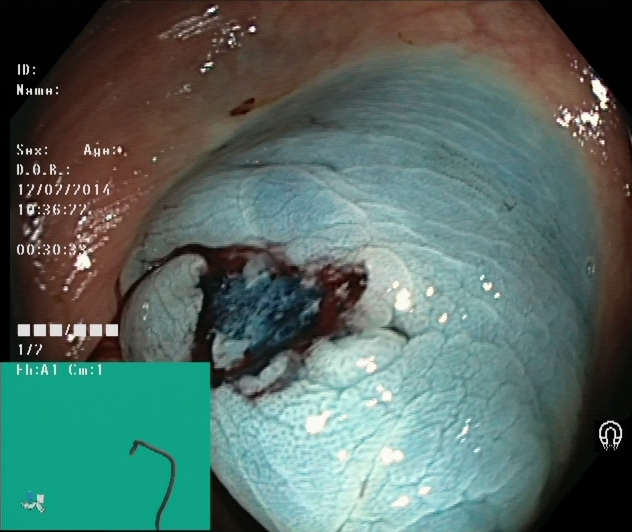modality: lower gastrointestinal endoscopy | tract: lower GI tract | finding: dyed resection margins (post-polypectomy)